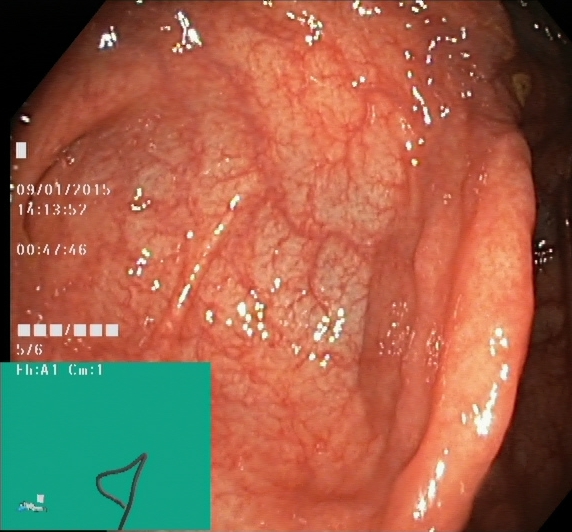{"modality": "lower-GI endoscopy", "finding": "cecum"}